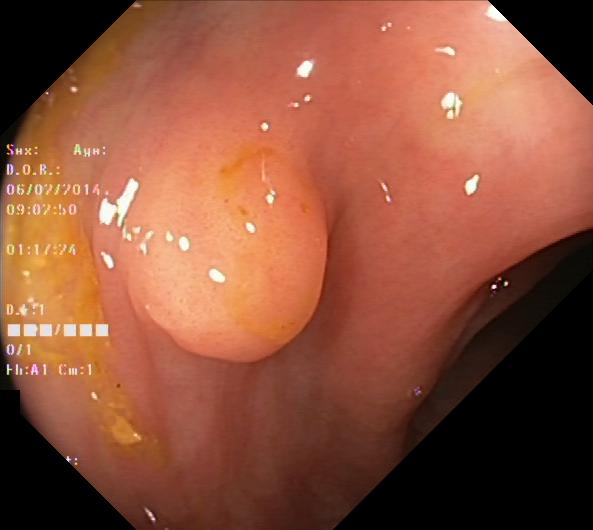Colorectal polyp(s).